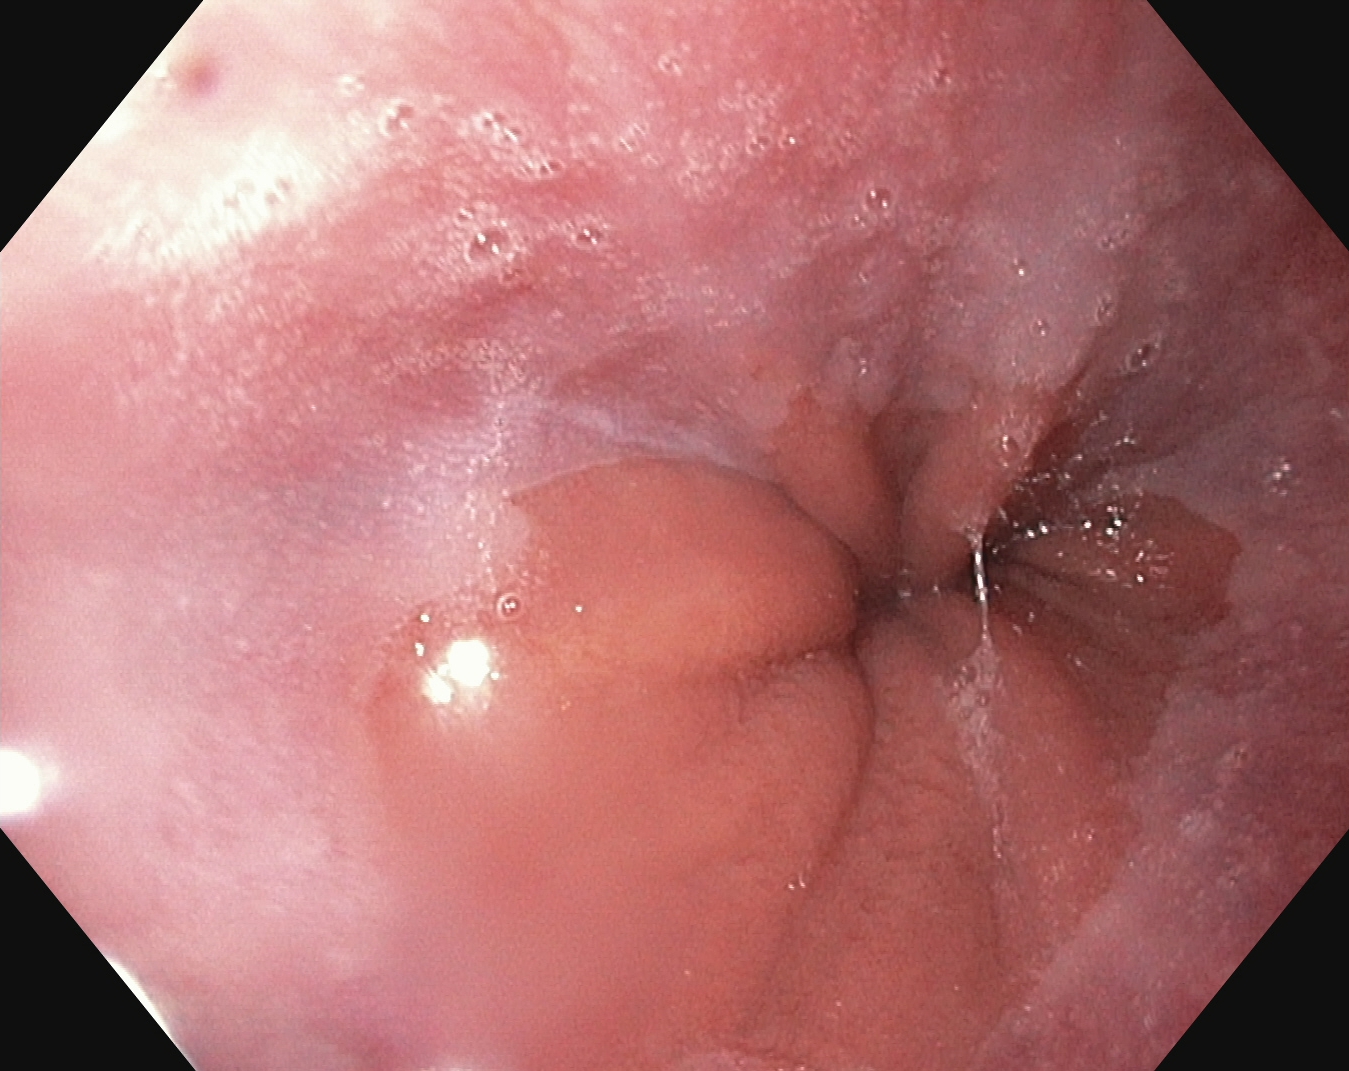Gastroscopy. Tract: upper GI tract. Finding: Z-line (gastroesophageal junction).